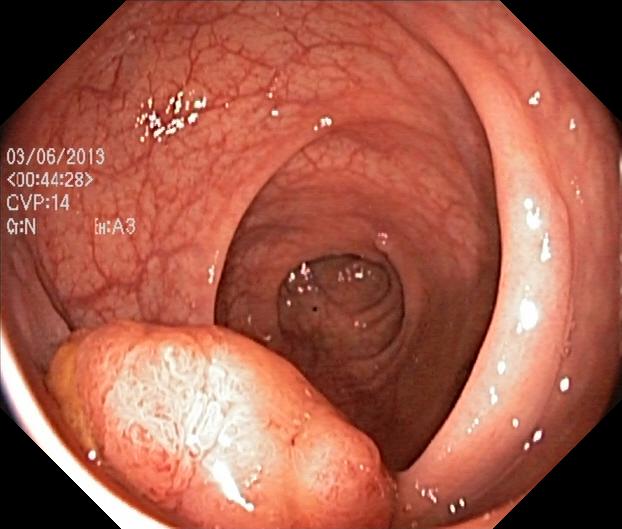GI endoscopy image showing colorectal polyp(s).